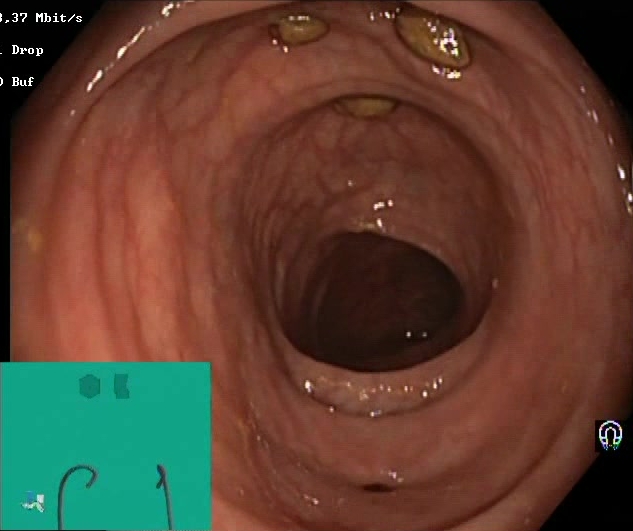PROCEDURE: Lower-GI endoscopy.
FINDINGS: Impacted stool.